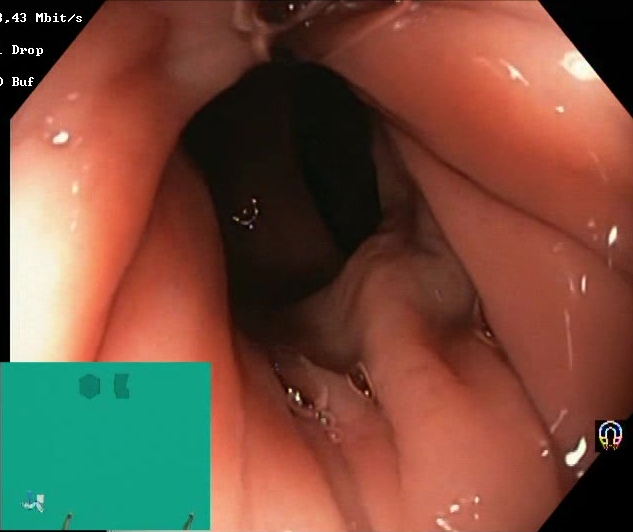PROCEDURE: Lower gastrointestinal endoscopy.
FINDINGS: Boston Bowel Preparation Scale score 2–3 (adequate preparation).